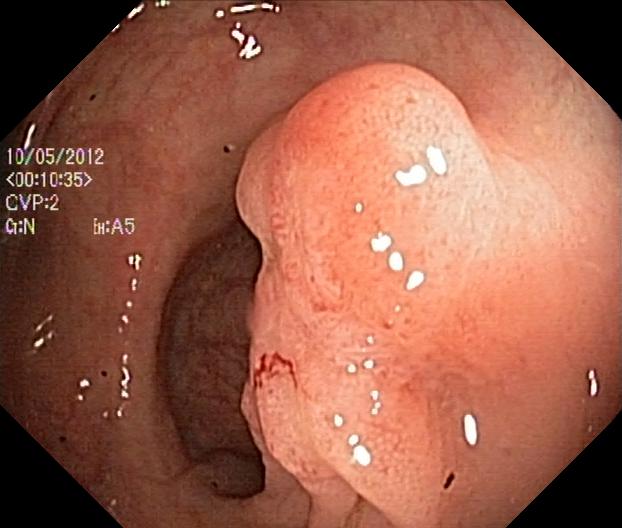This endoscopic image shows colorectal polyp(s).